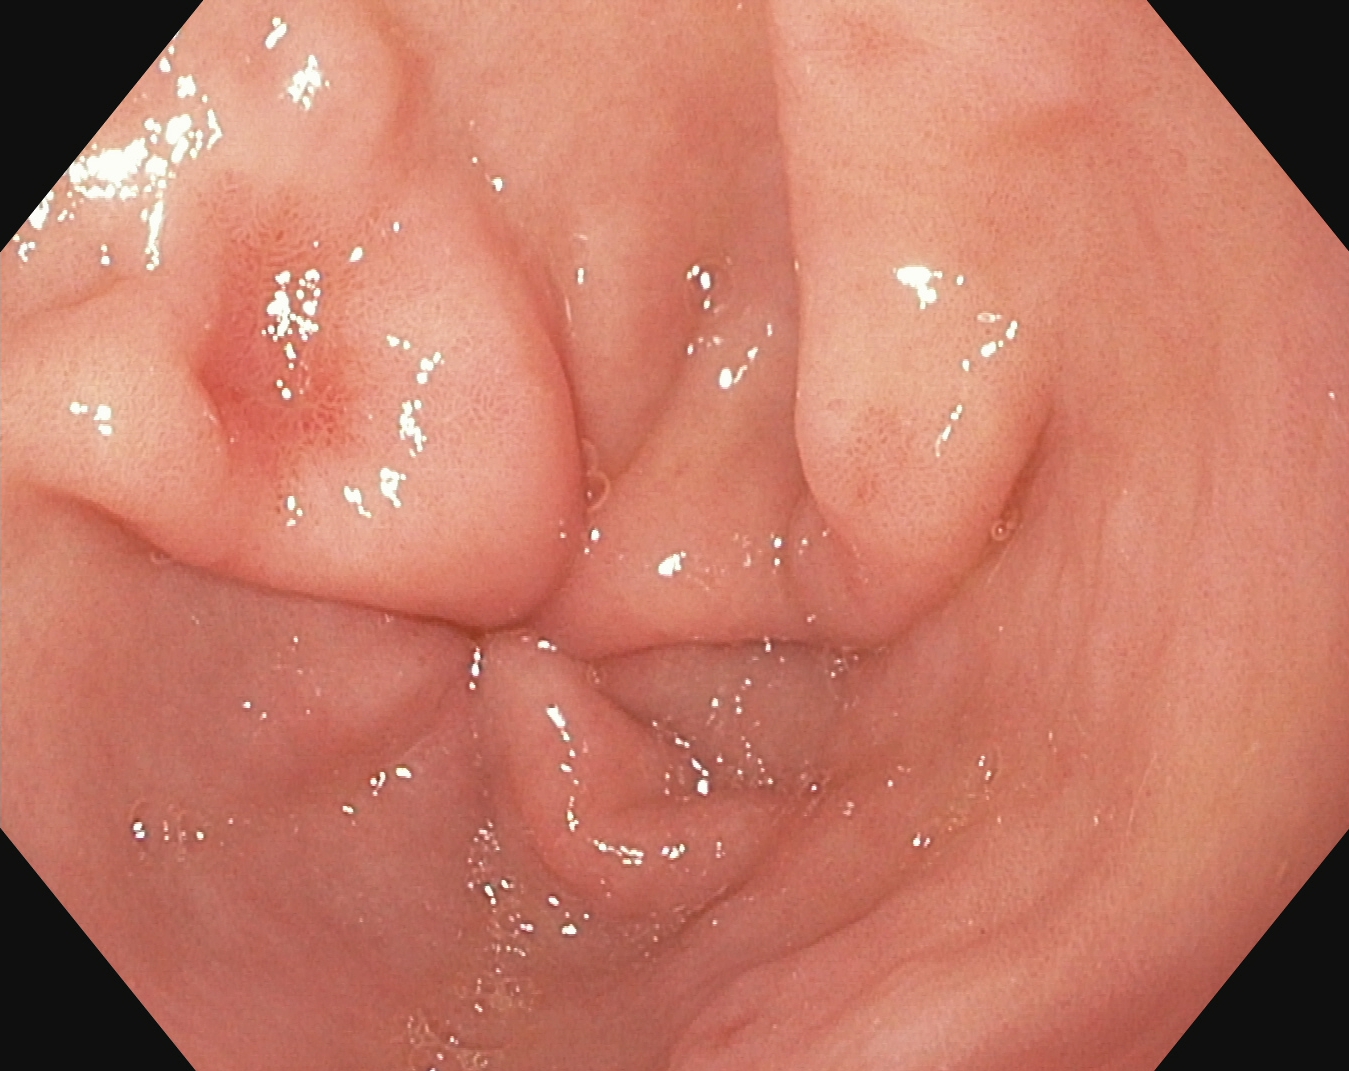This endoscopic image of the upper GI tract shows pylorus.